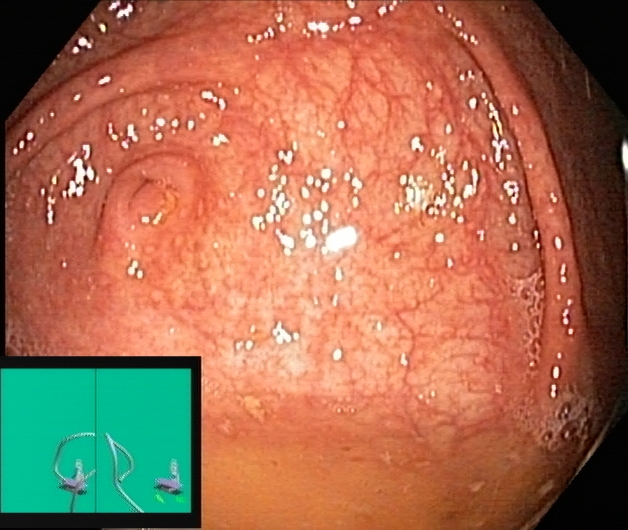Lower-GI endoscopy. Finding: cecum.